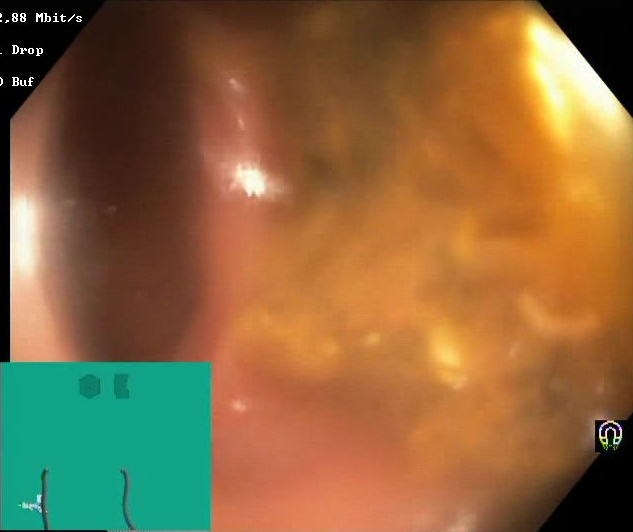modality: lower gastrointestinal endoscopy
finding: Boston Bowel Preparation Scale score 0–1 (inadequate preparation)